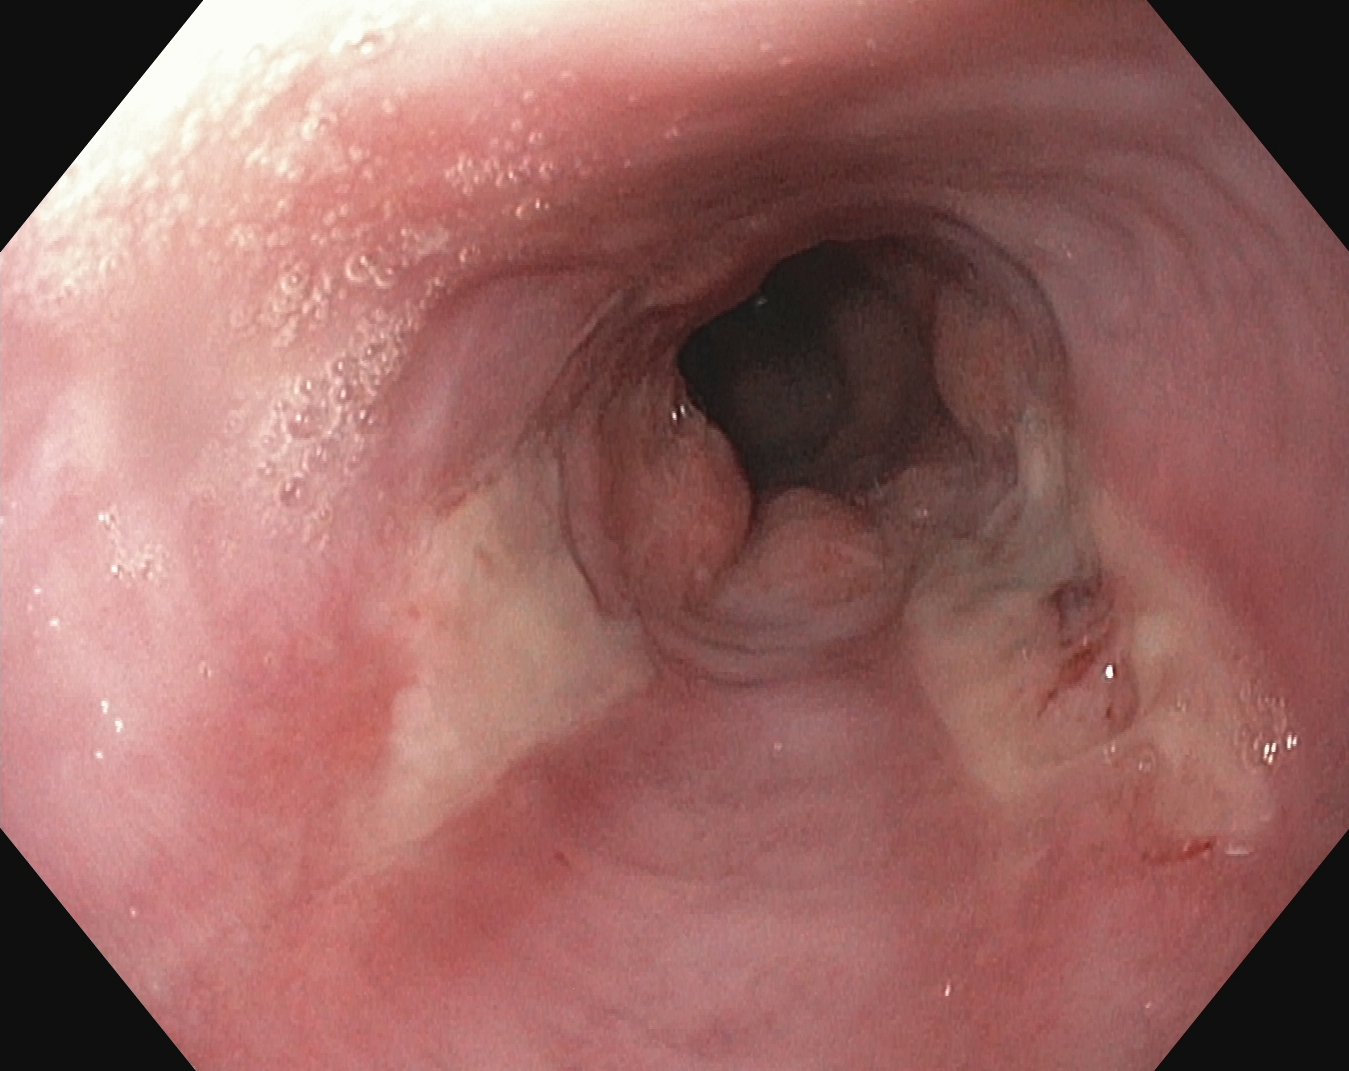GI endoscopy image showing reflux esophagitis, LA grade B–D.